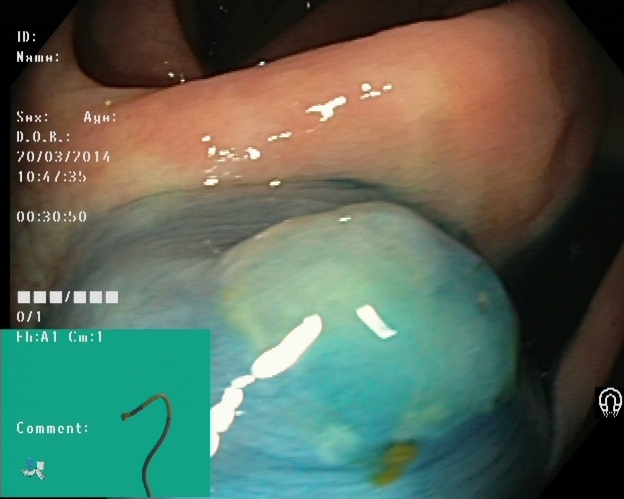{"modality": "lower-GI endoscopy", "tract": "lower GI tract", "finding": "dyed and lifted polyp (pre-resection)"}